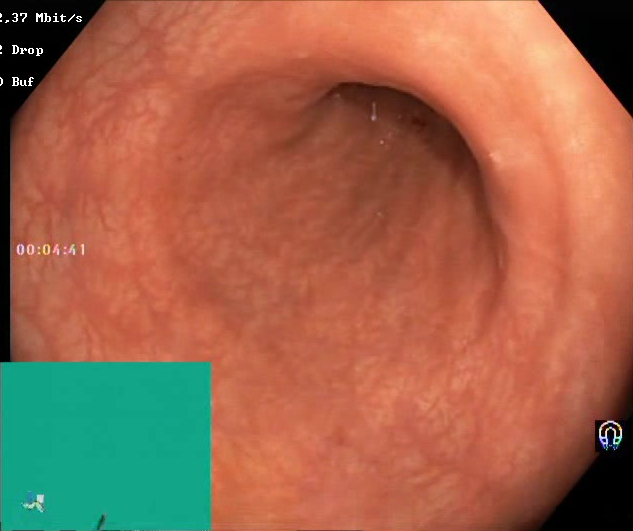Colonoscopy — BBPS score 2–3 (adequate preparation).